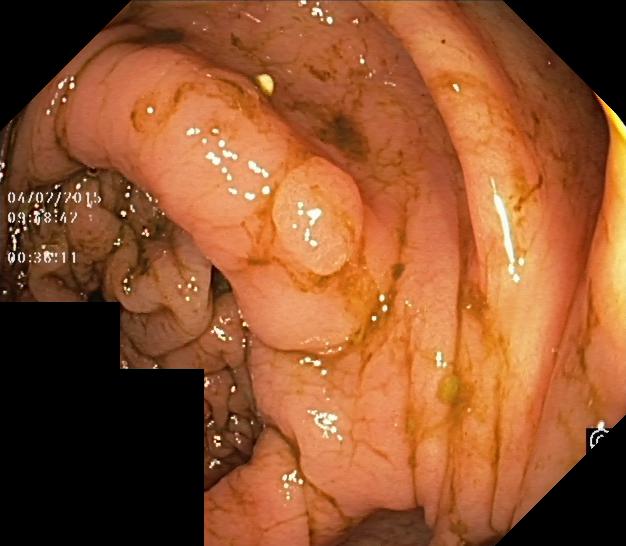Colorectal polyp(s).